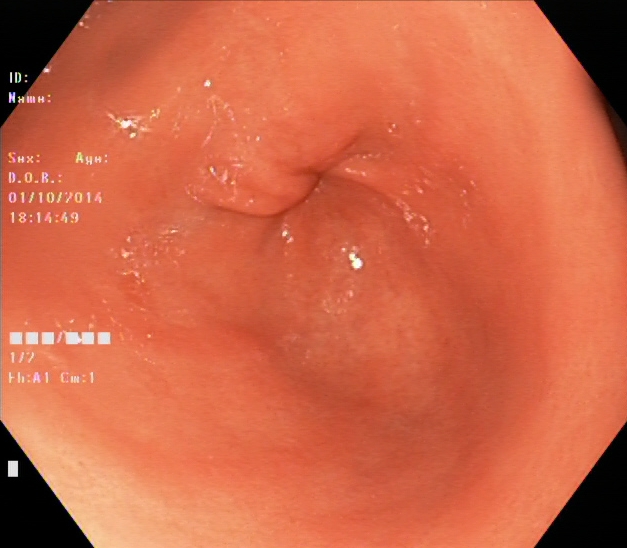Gastrointestinal endoscopy image of the upper GI tract showing pylorus.